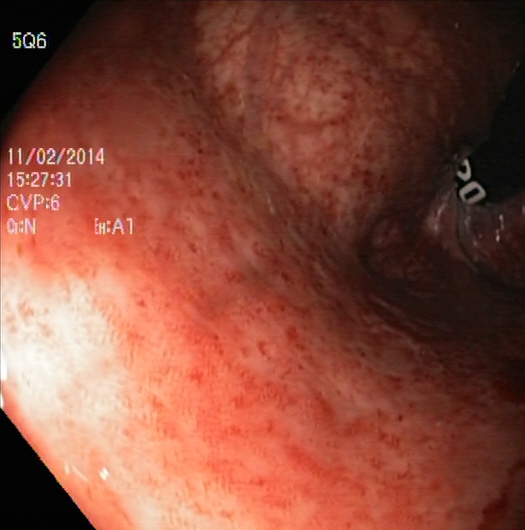Lower gastrointestinal endoscopy — rectum in retroflexion.